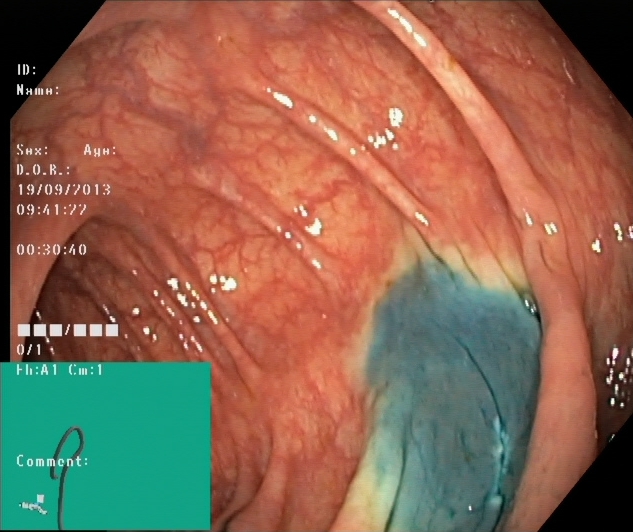{"modality": "lower-GI endoscopy", "finding": "dyed resection margins (post-polypectomy)"}